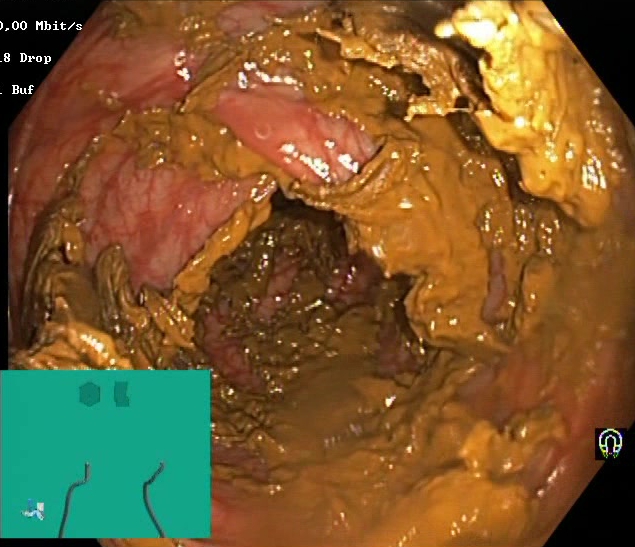Lower gastrointestinal endoscopy. Finding: Boston Bowel Preparation Scale score 0–1 (inadequate preparation).